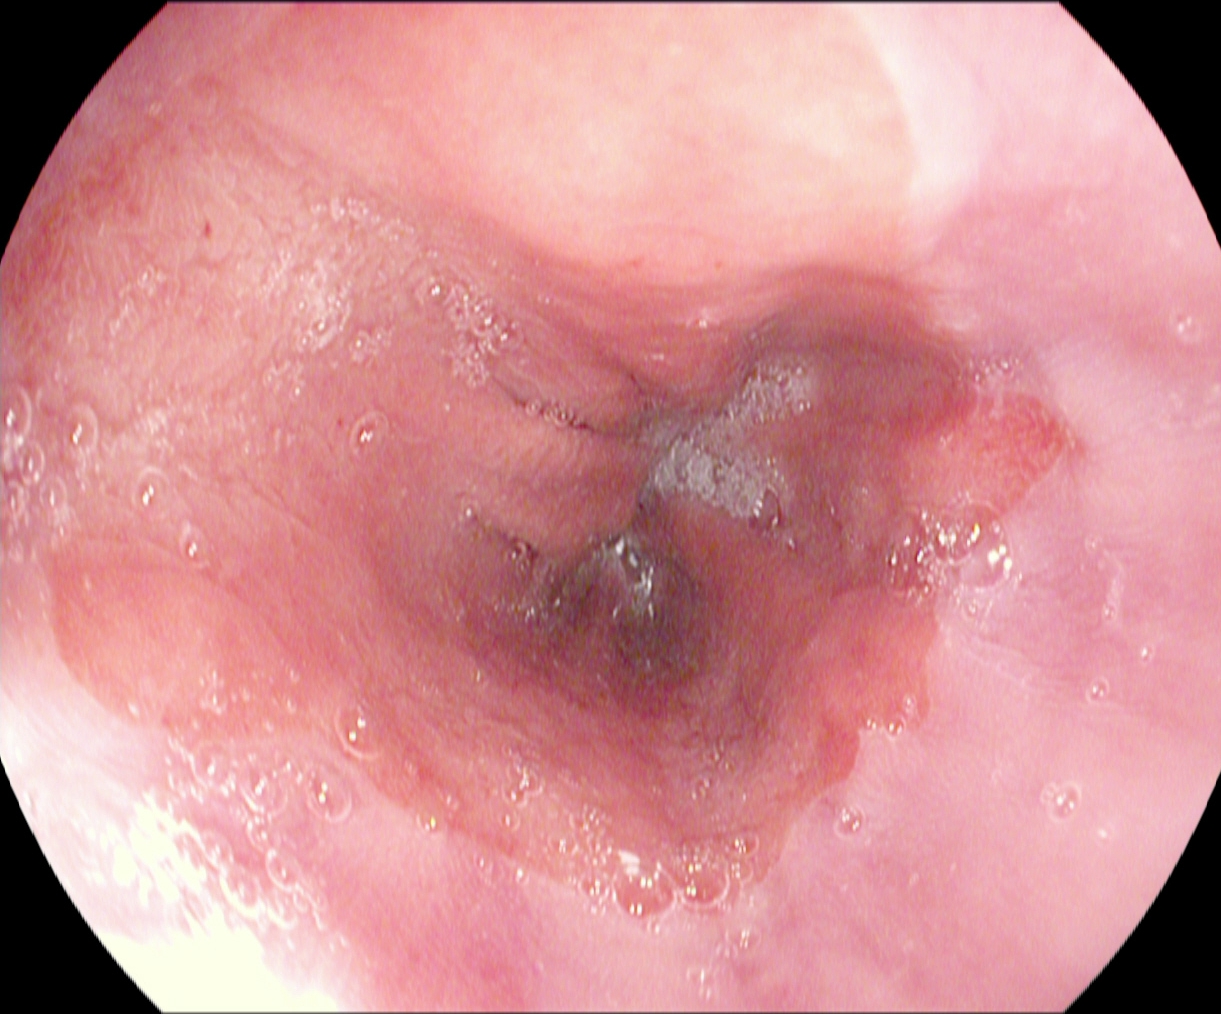modality: upper-GI endoscopy; finding: Barrett's esophagus, short segment